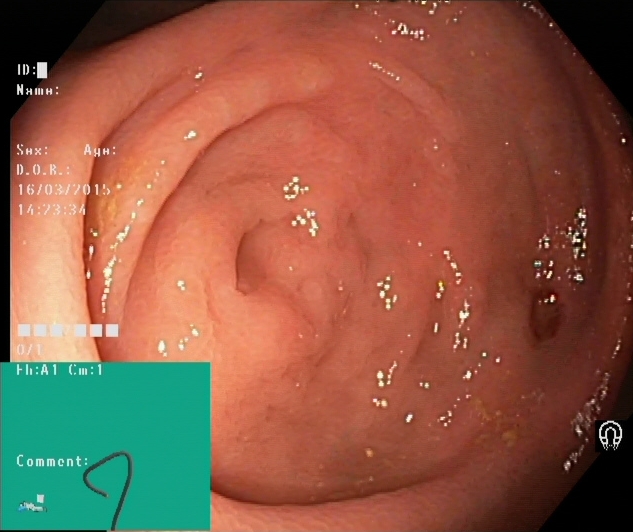Cecum.